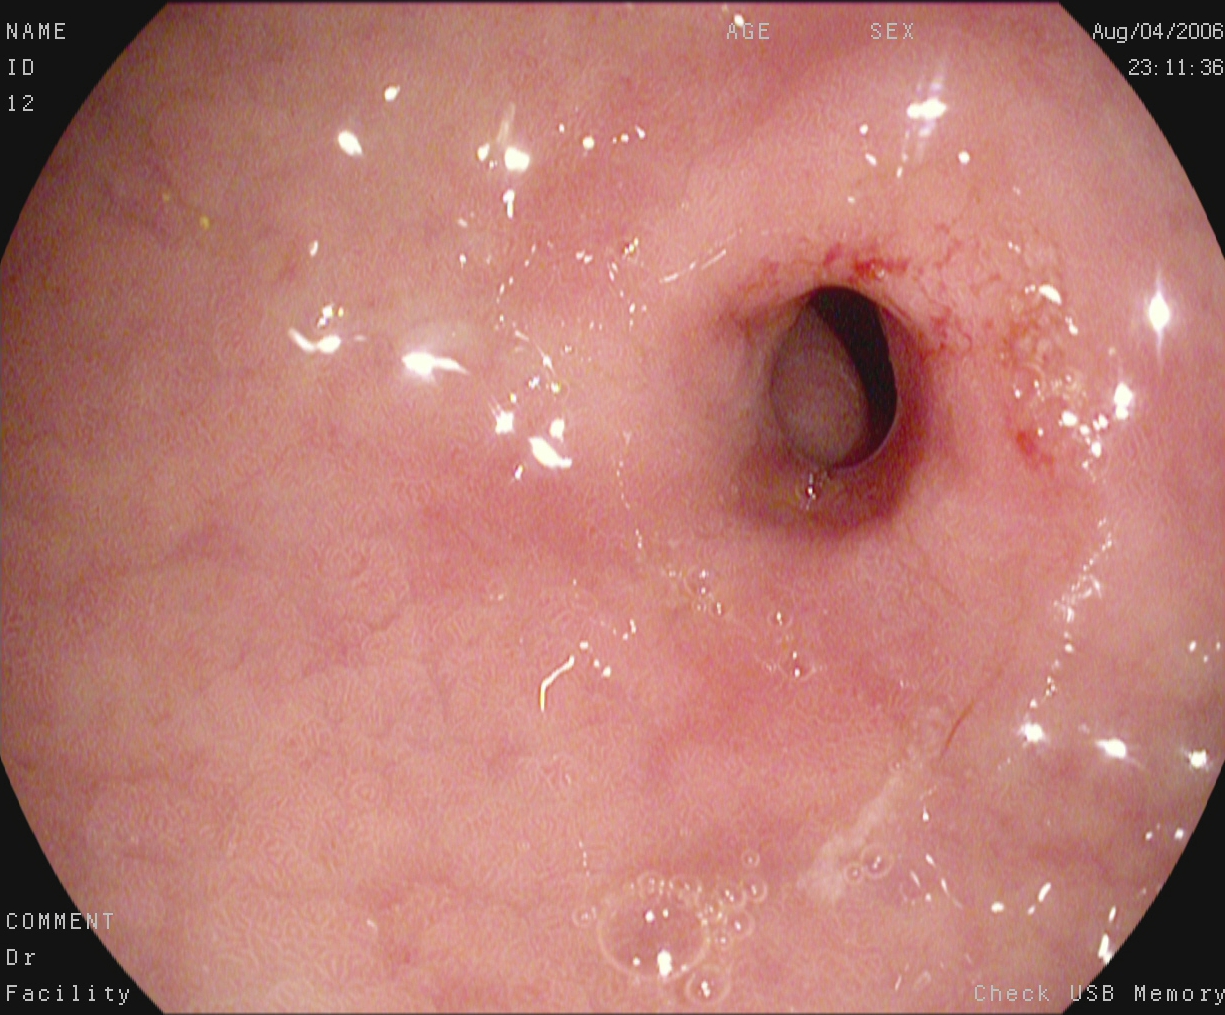This endoscopy frame of the upper GI tract shows pylorus.